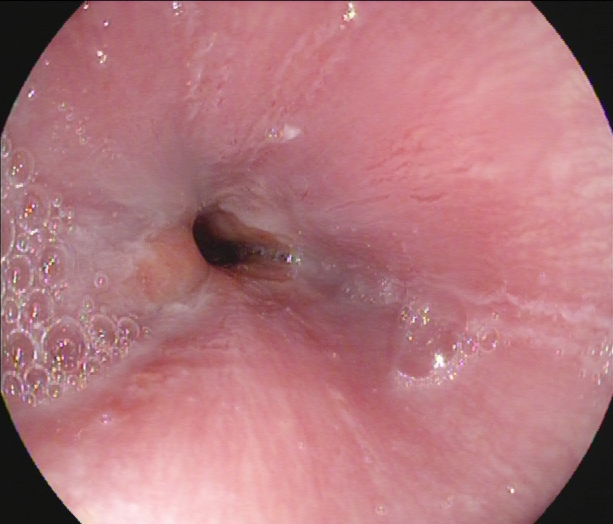Upper-GI endoscopy. Tract: upper GI tract. Anatomical landmark. Finding: Z-line (gastroesophageal junction).